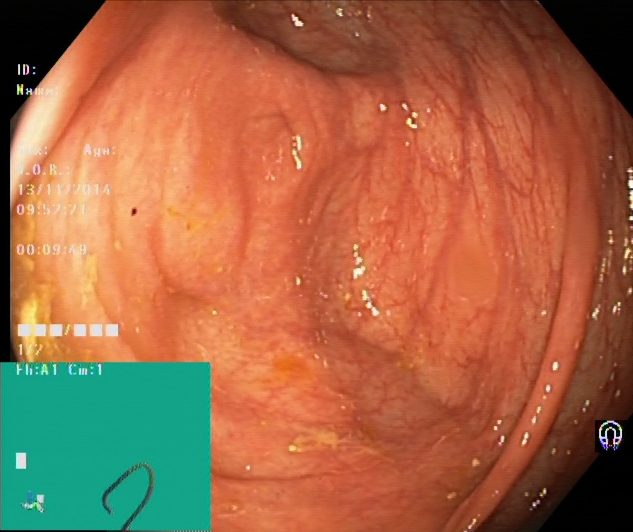{"modality": "lower gastrointestinal endoscopy", "tract": "lower GI tract", "category": "anatomical landmark", "finding": "cecum"}